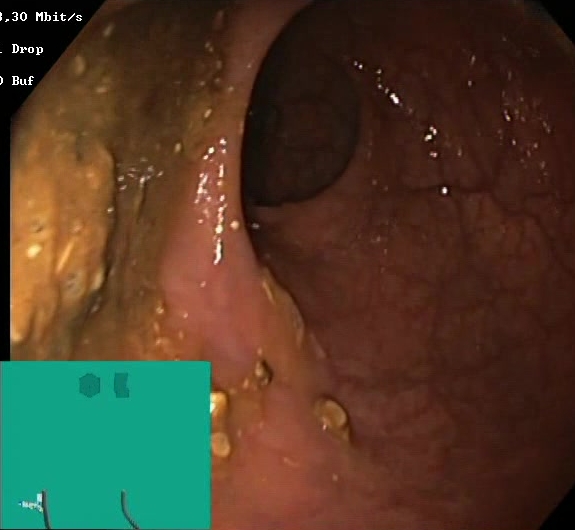{"modality": "colonoscopy", "tract": "lower GI tract", "finding": "BBPS score 0\u20131 (inadequate preparation)"}